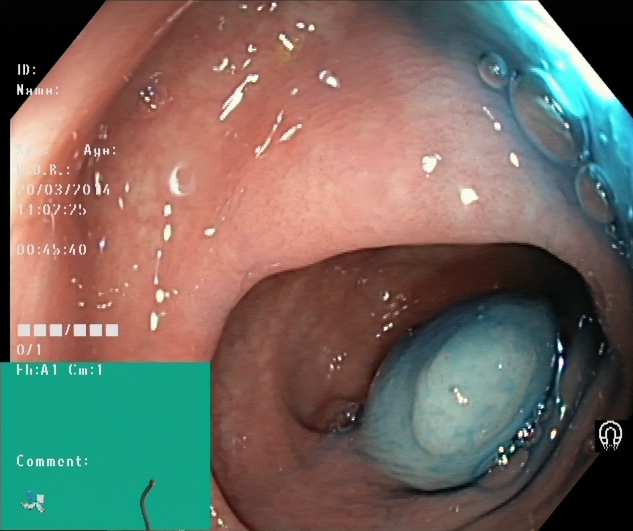modality: lower gastrointestinal endoscopy
finding: dyed and lifted polyp (pre-resection)